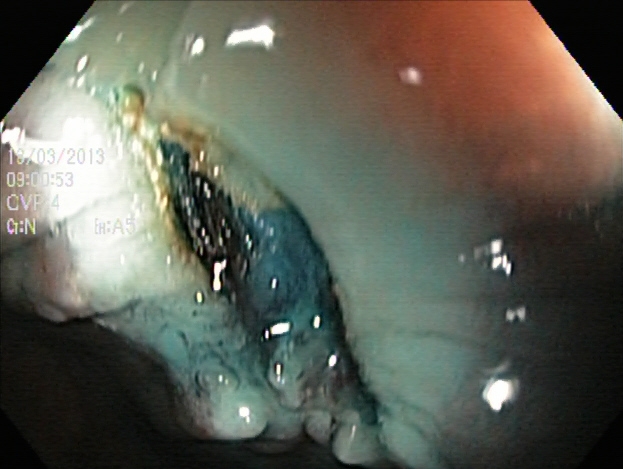This endoscopic image shows dyed resection margins (post-polypectomy).